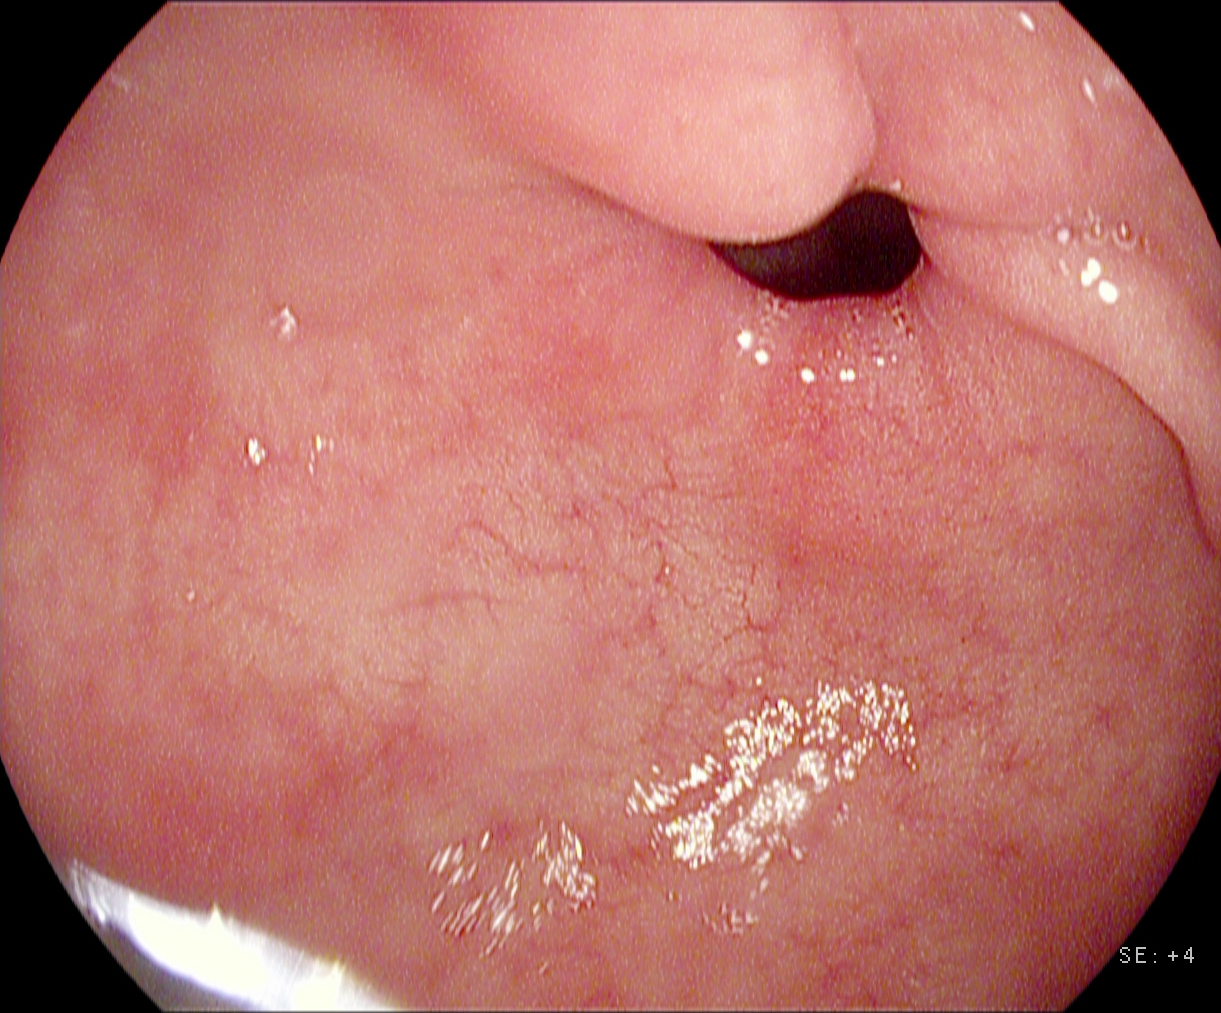{"modality": "gastroscopy", "tract": "upper GI tract", "finding": "pylorus"}